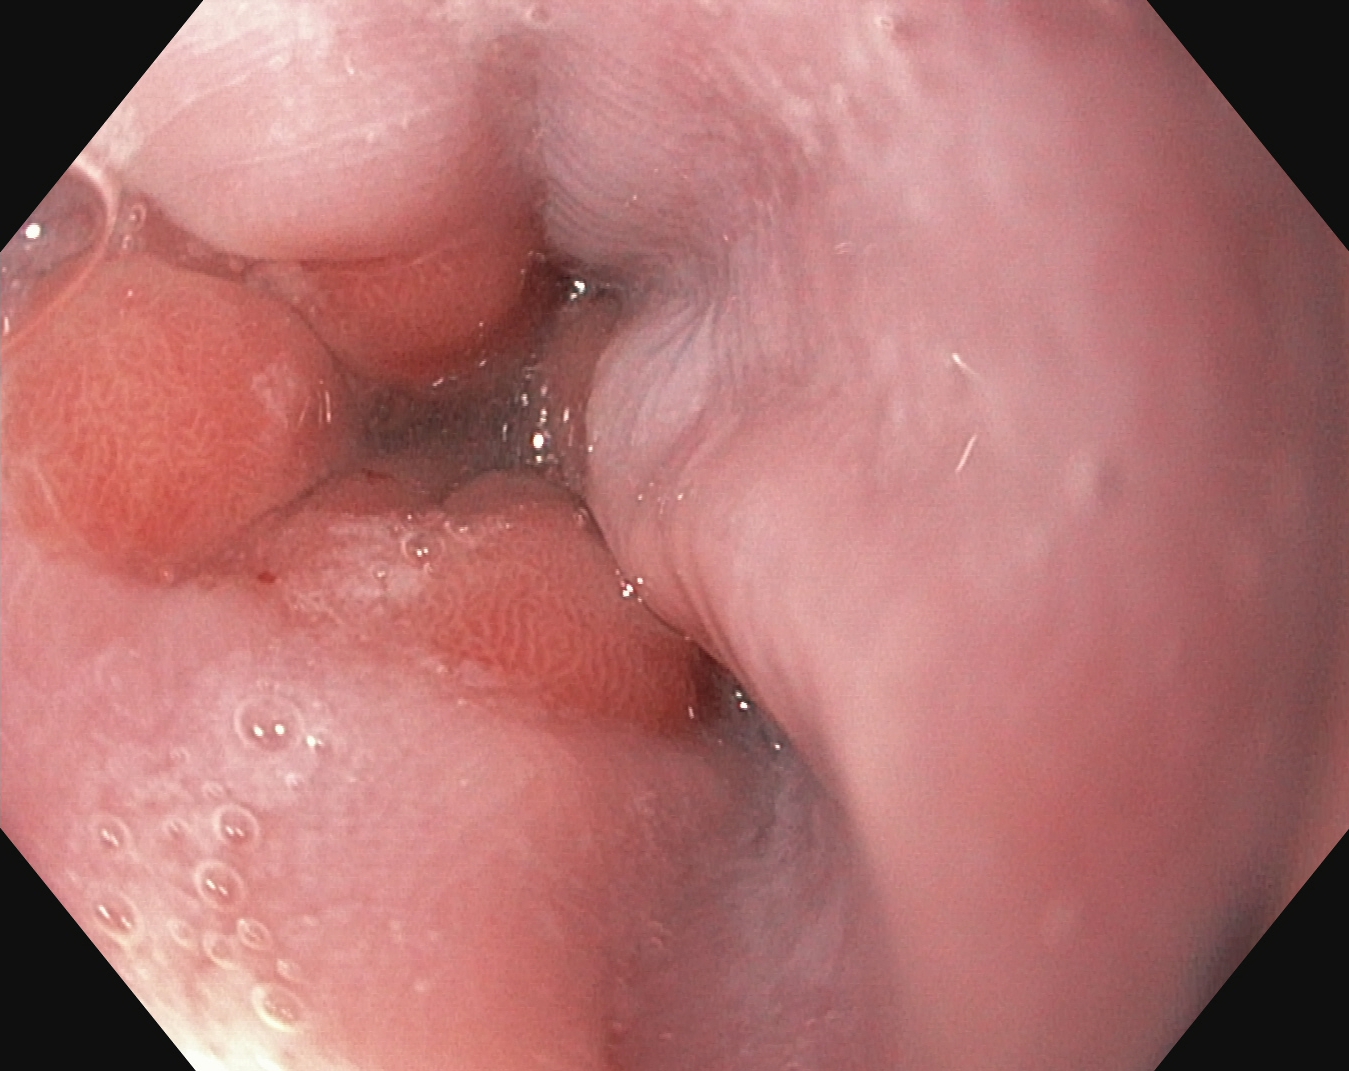{"modality": "EGD", "category": "anatomical landmark", "finding": "Z-line (gastroesophageal junction)"}